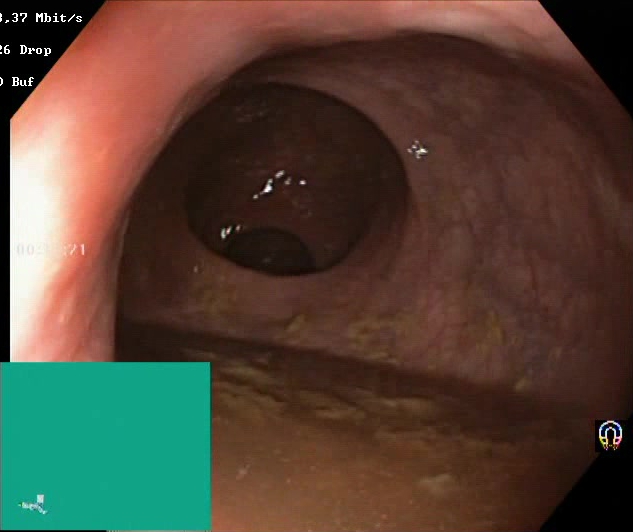Colonoscopy image of the lower GI tract showing Boston Bowel Preparation Scale score 0–1 (inadequate preparation).